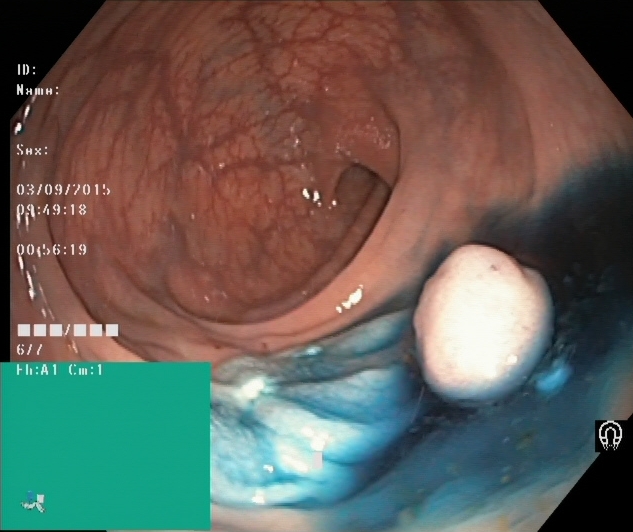Dyed and lifted polyp (pre-resection).